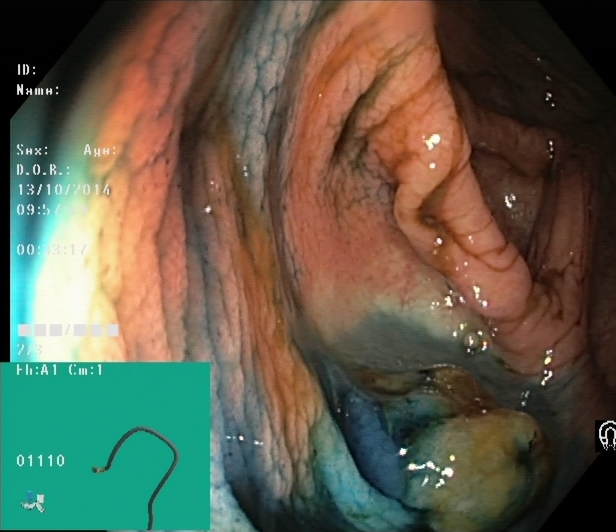Lower-GI endoscopy — dyed and lifted polyp (pre-resection).